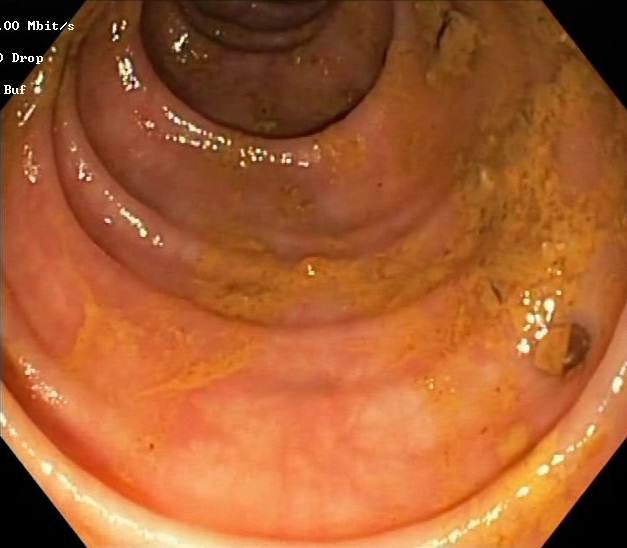Colonoscopy — BBPS score 0–1 (inadequate preparation).